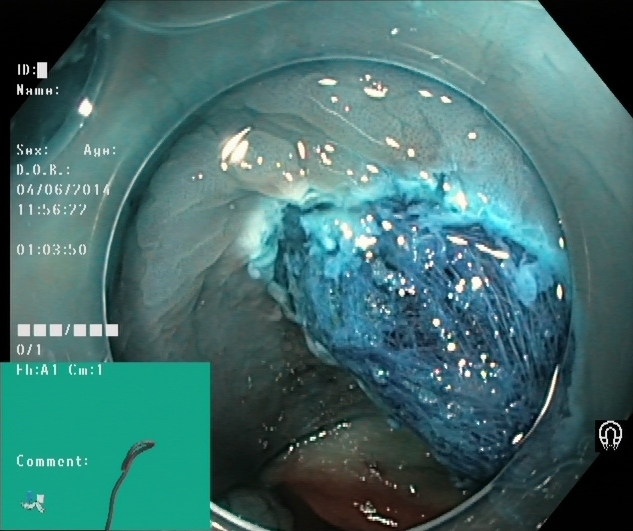This endoscopic image of the lower GI tract shows dyed resection margins (post-polypectomy).